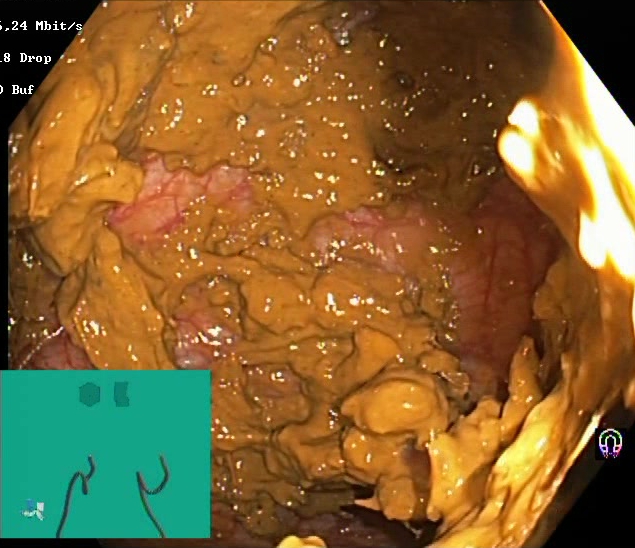BBPS score 0–1 (inadequate preparation).